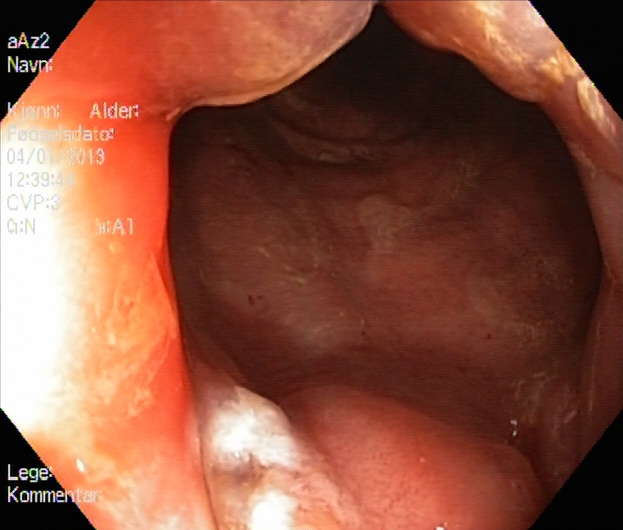{"modality": "colonoscopy", "tract": "lower GI tract", "finding": "UC, Mayo endoscopic subscore 2"}